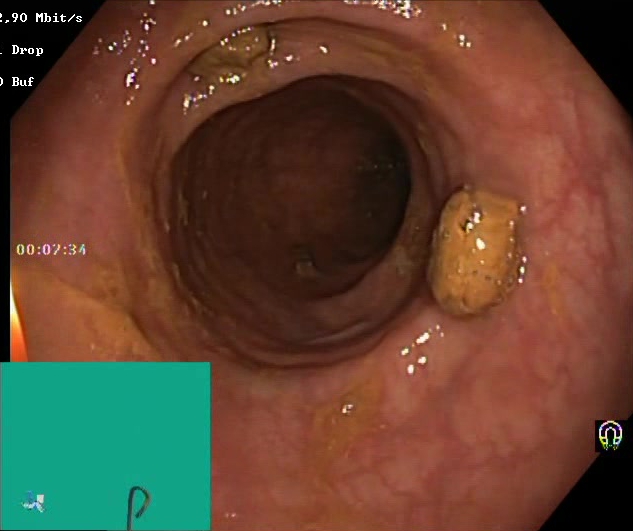Lower gastrointestinal endoscopy. Tract: lower GI tract. Finding: impacted stool.